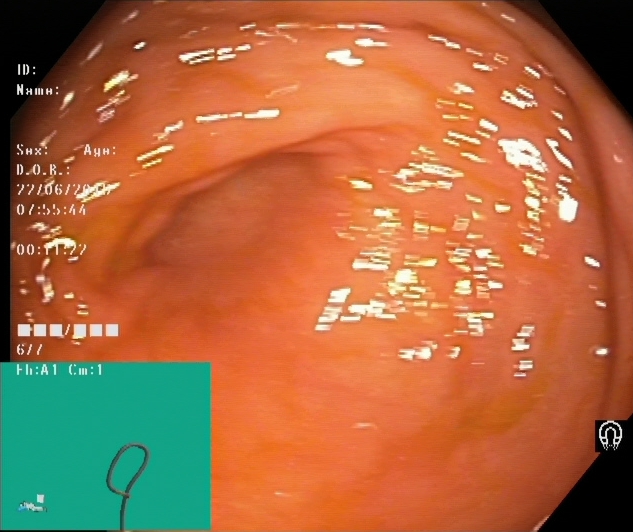Lower-GI endoscopy. Tract: lower GI tract. Anatomical landmark. Finding: cecum.